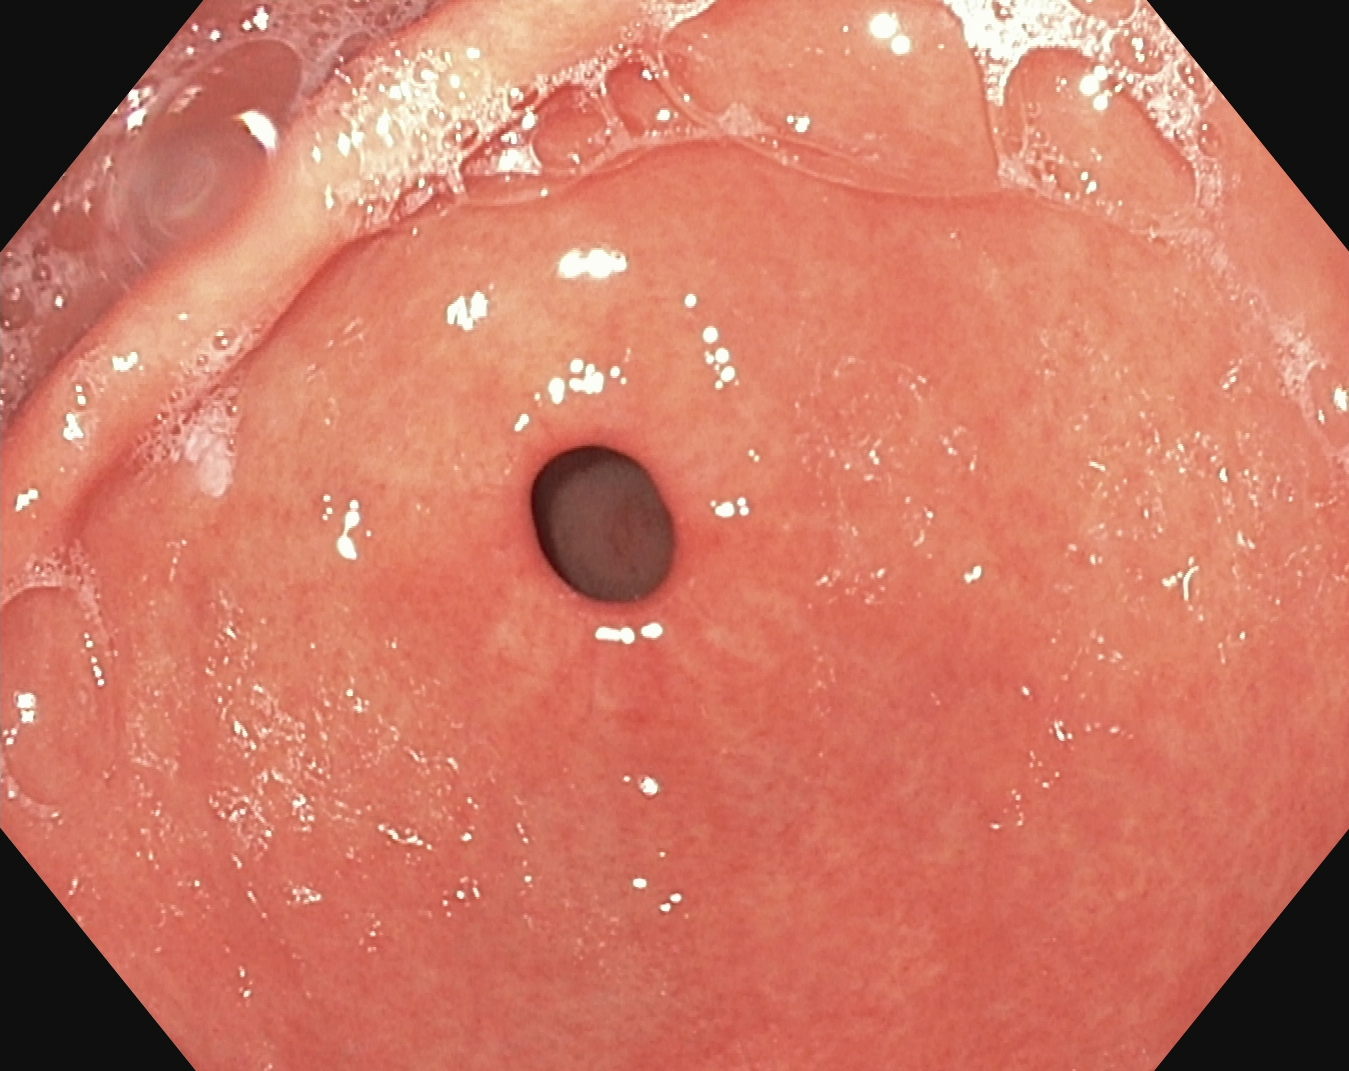EGD. Tract: upper GI tract. Anatomical landmark. Finding: pylorus.